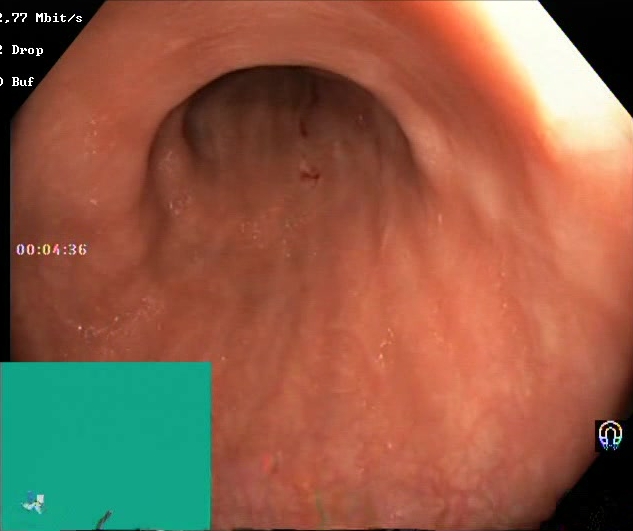modality: lower gastrointestinal endoscopy; tract: lower GI tract; finding: BBPS score 2–3 (adequate preparation)